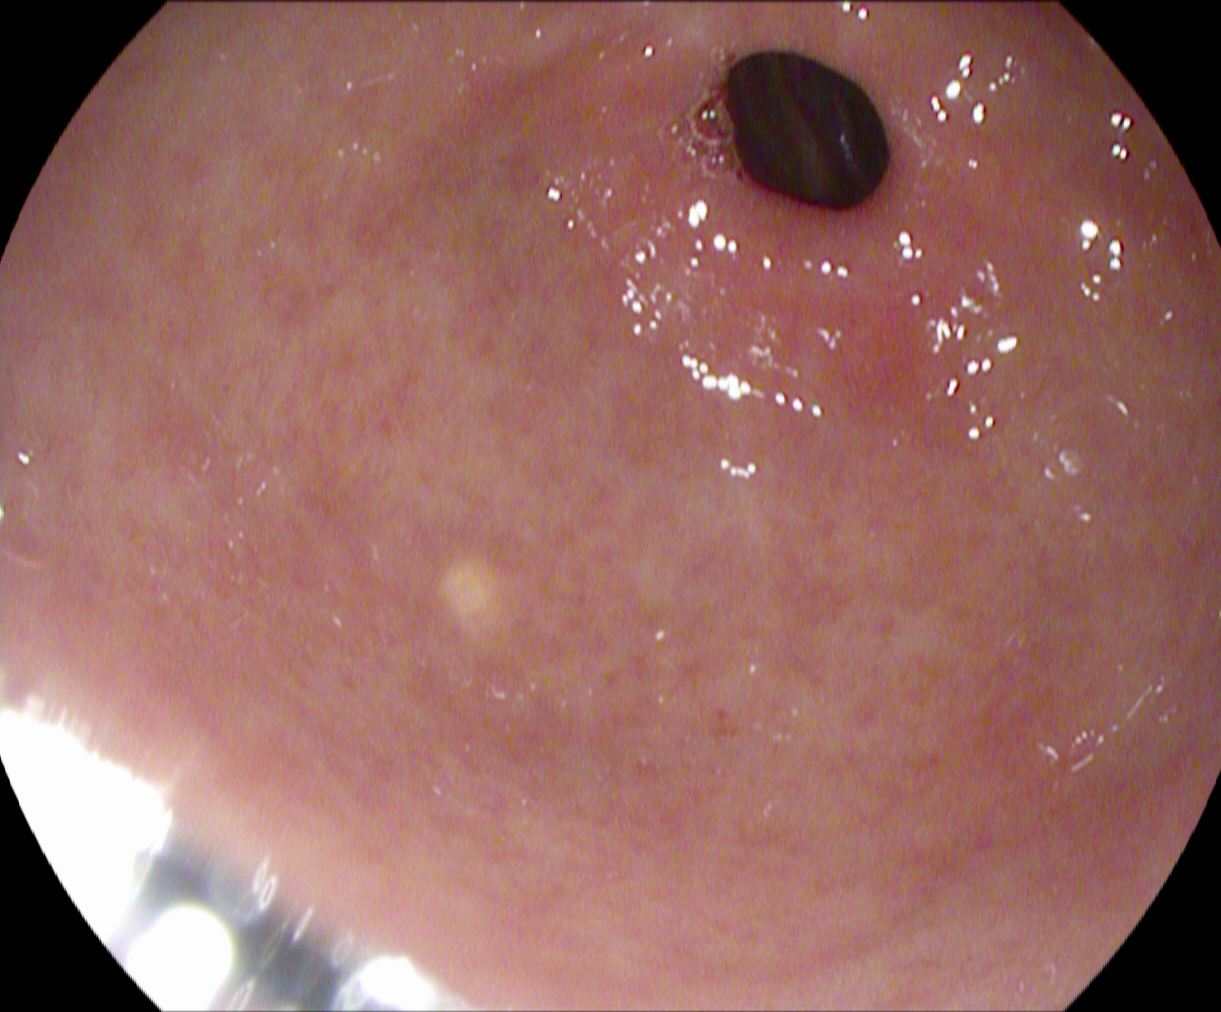{"modality": "upper-GI endoscopy", "tract": "upper GI tract", "finding": "pylorus"}